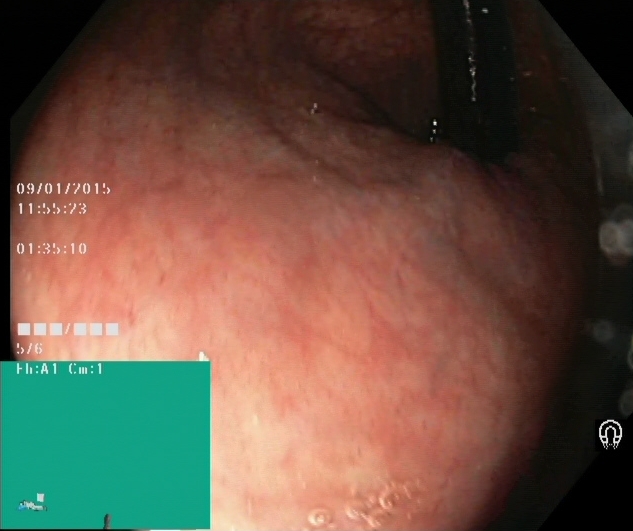PROCEDURE: Lower-GI endoscopy.
FINDINGS: Rectum in retroflexion.